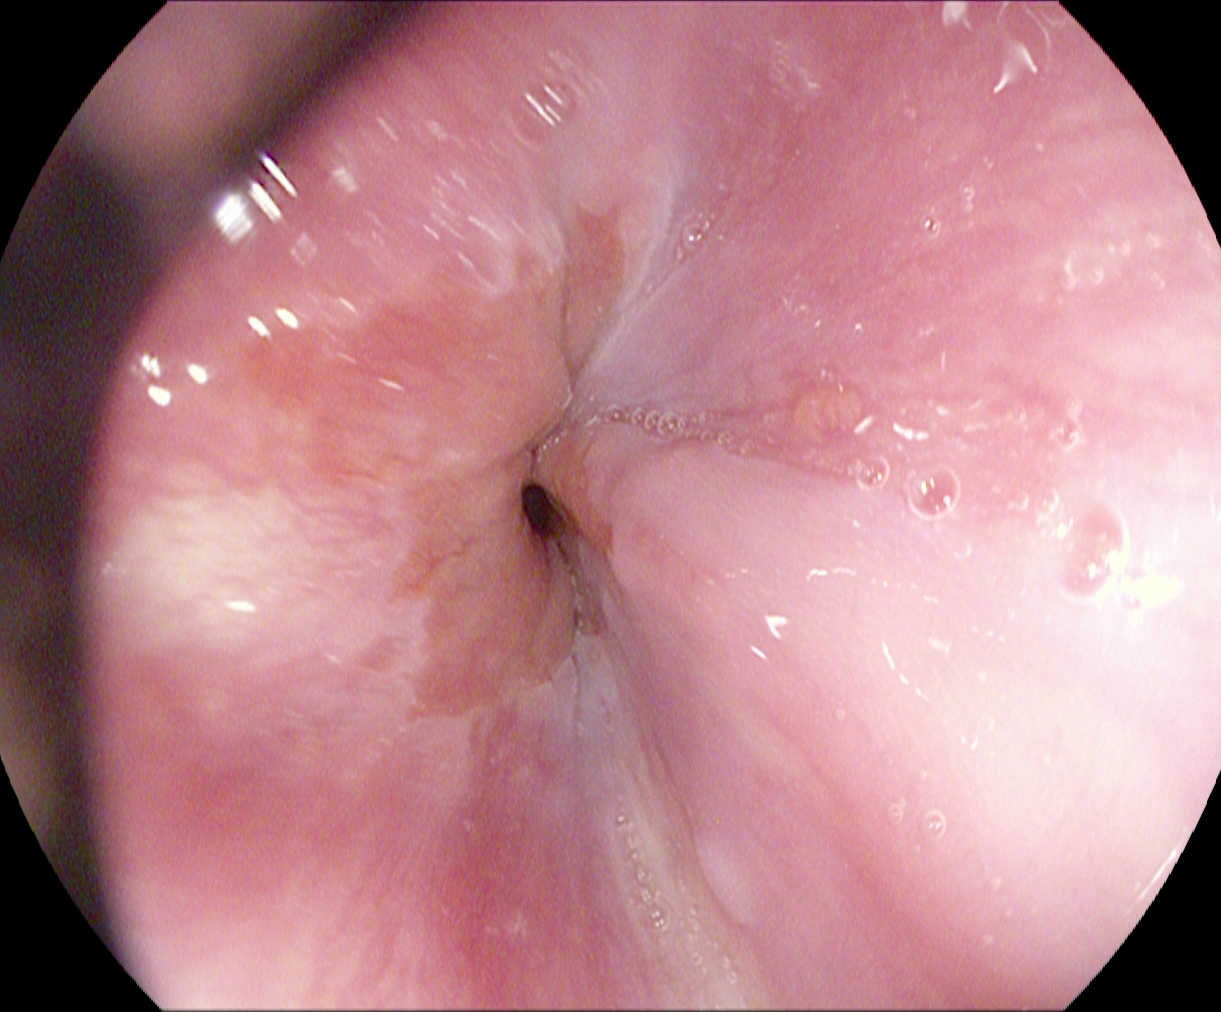{"modality": "esophagogastroduodenoscopy", "tract": "upper GI tract", "finding": "Z-line (gastroesophageal junction)"}